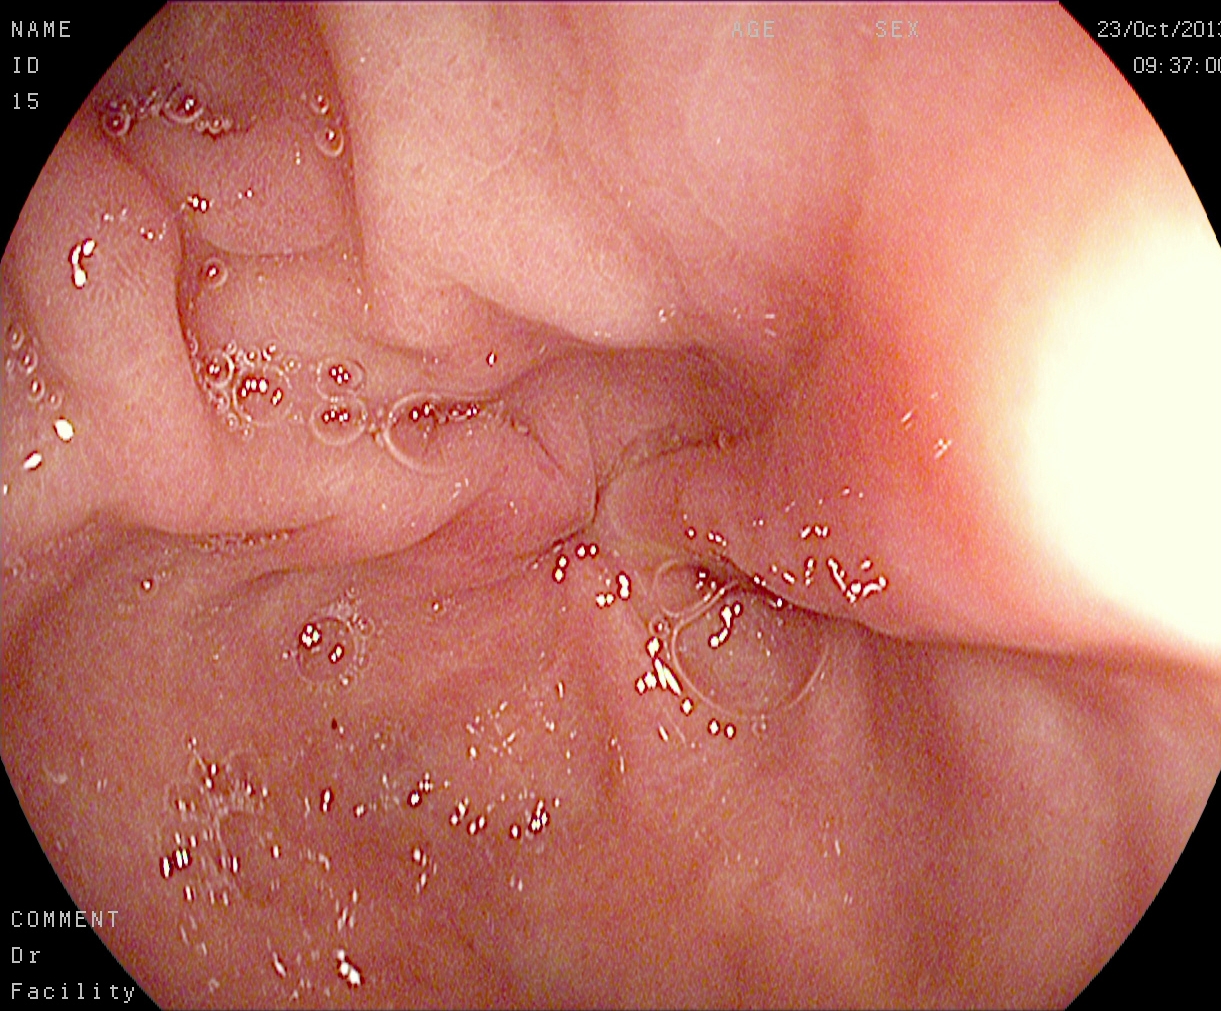{"modality": "esophagogastroduodenoscopy", "tract": "upper GI tract", "finding": "pylorus"}